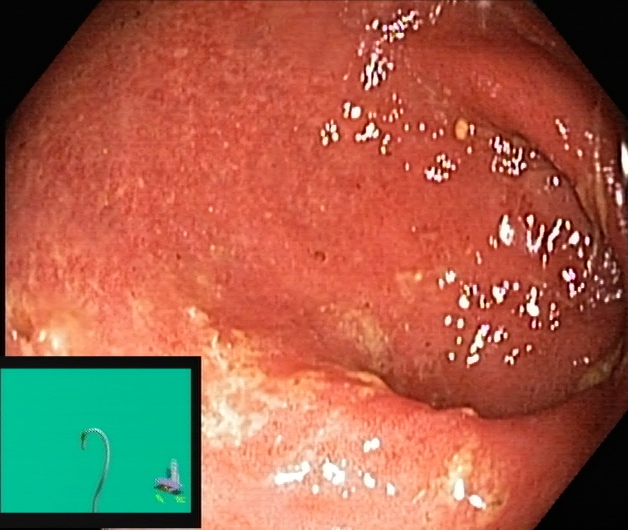This endoscopy frame of the lower GI tract shows ulcerative colitis, Mayo endoscopic subscore 2.